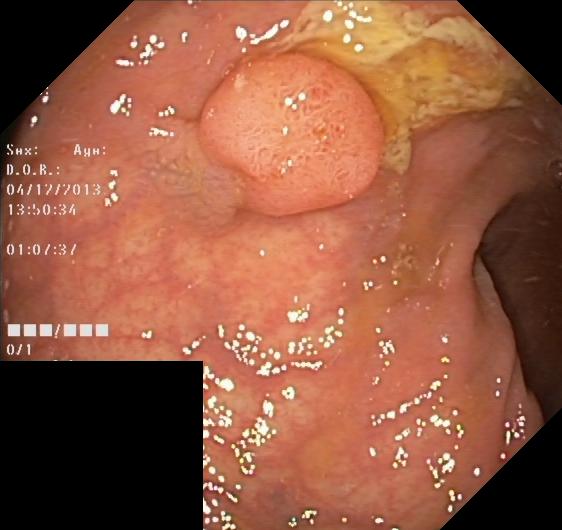Lower-GI endoscopy. Pathological finding. Finding: colorectal polyp(s).